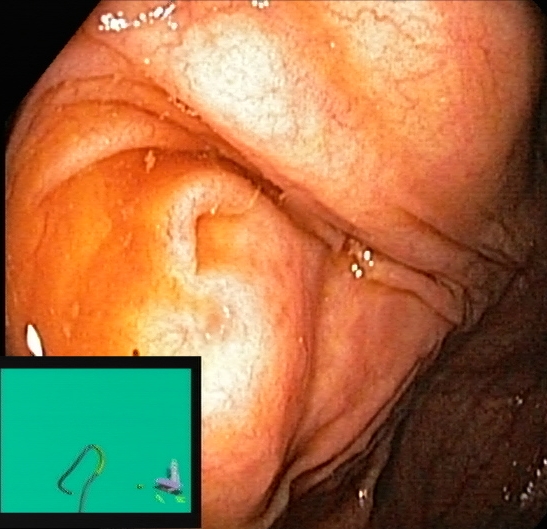Cecum.